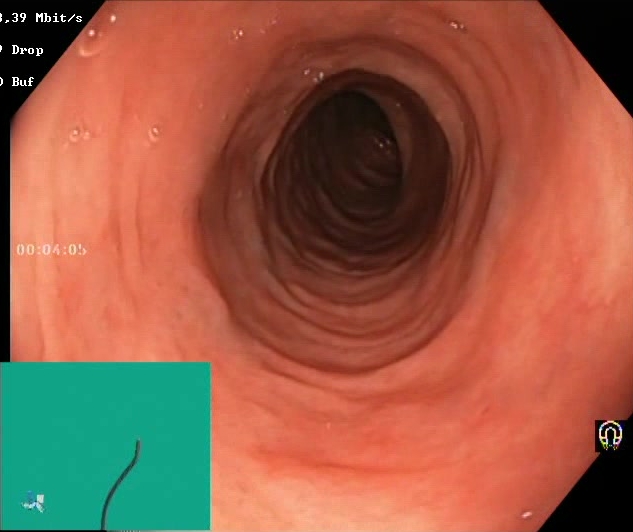Gastrointestinal endoscopy image of the lower GI tract showing BBPS score 2–3 (adequate preparation).